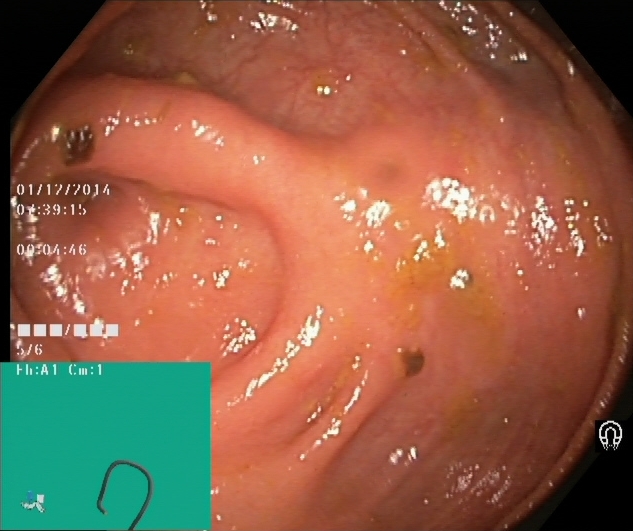This endoscopic image shows cecum.